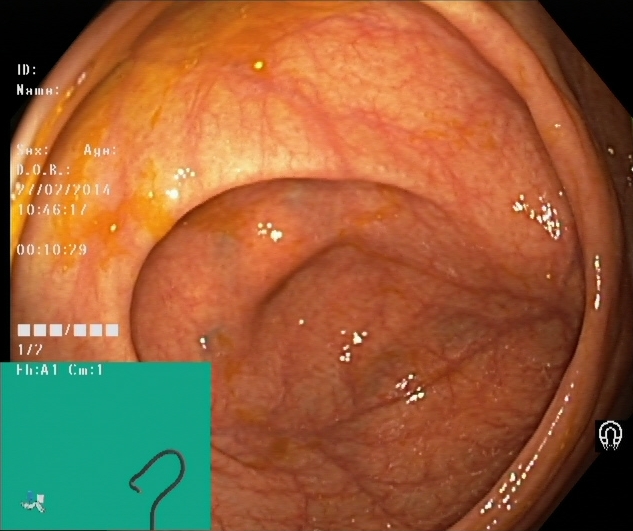Lower-GI endoscopy. Tract: lower GI tract. Finding: cecum.